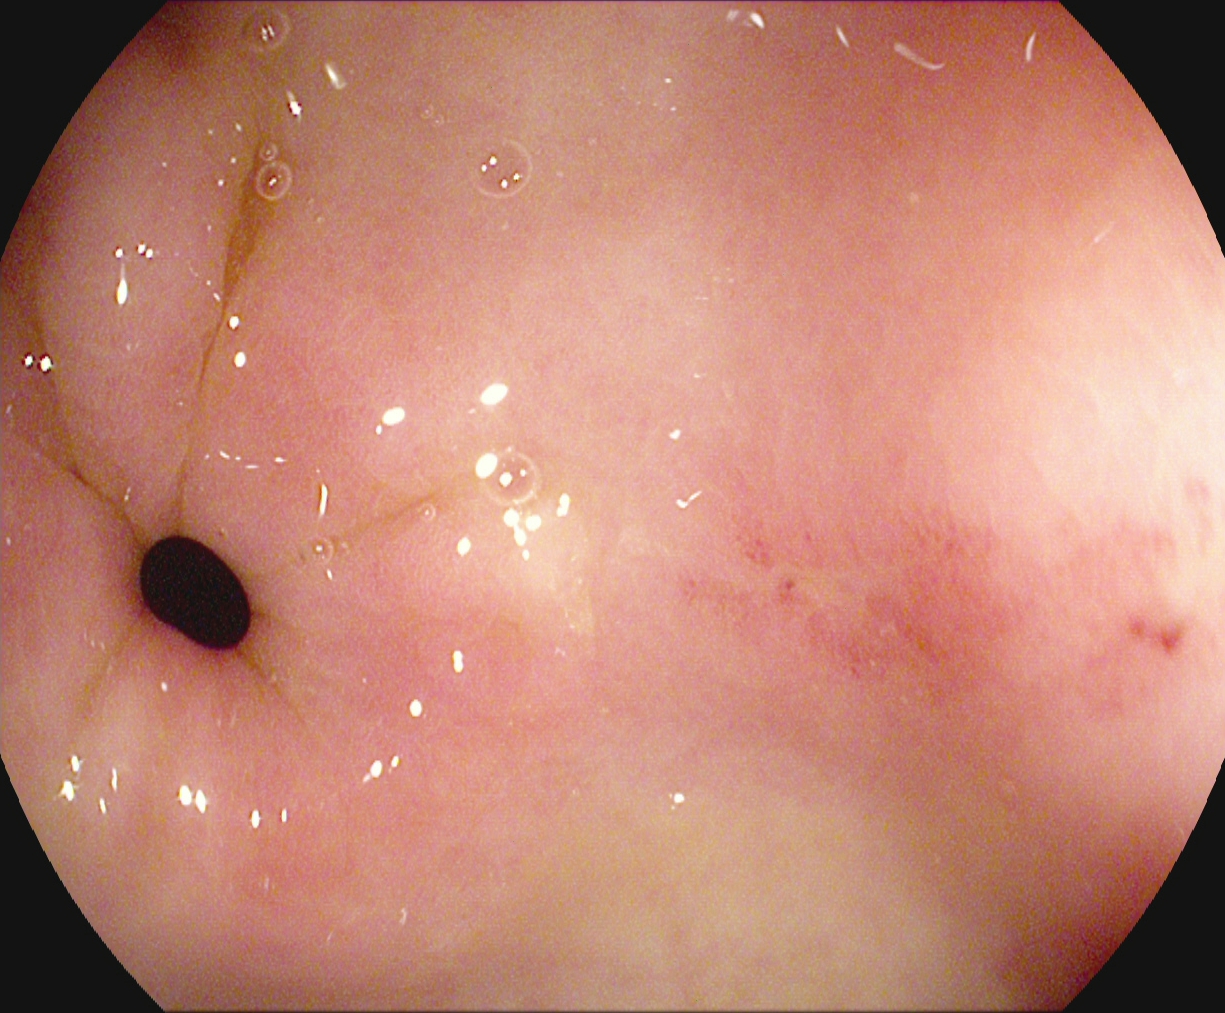Gastroscopy — pylorus.